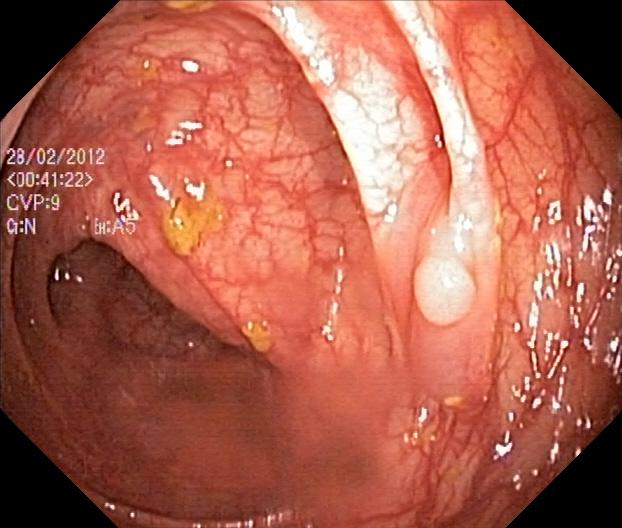colorectal polyp(s).